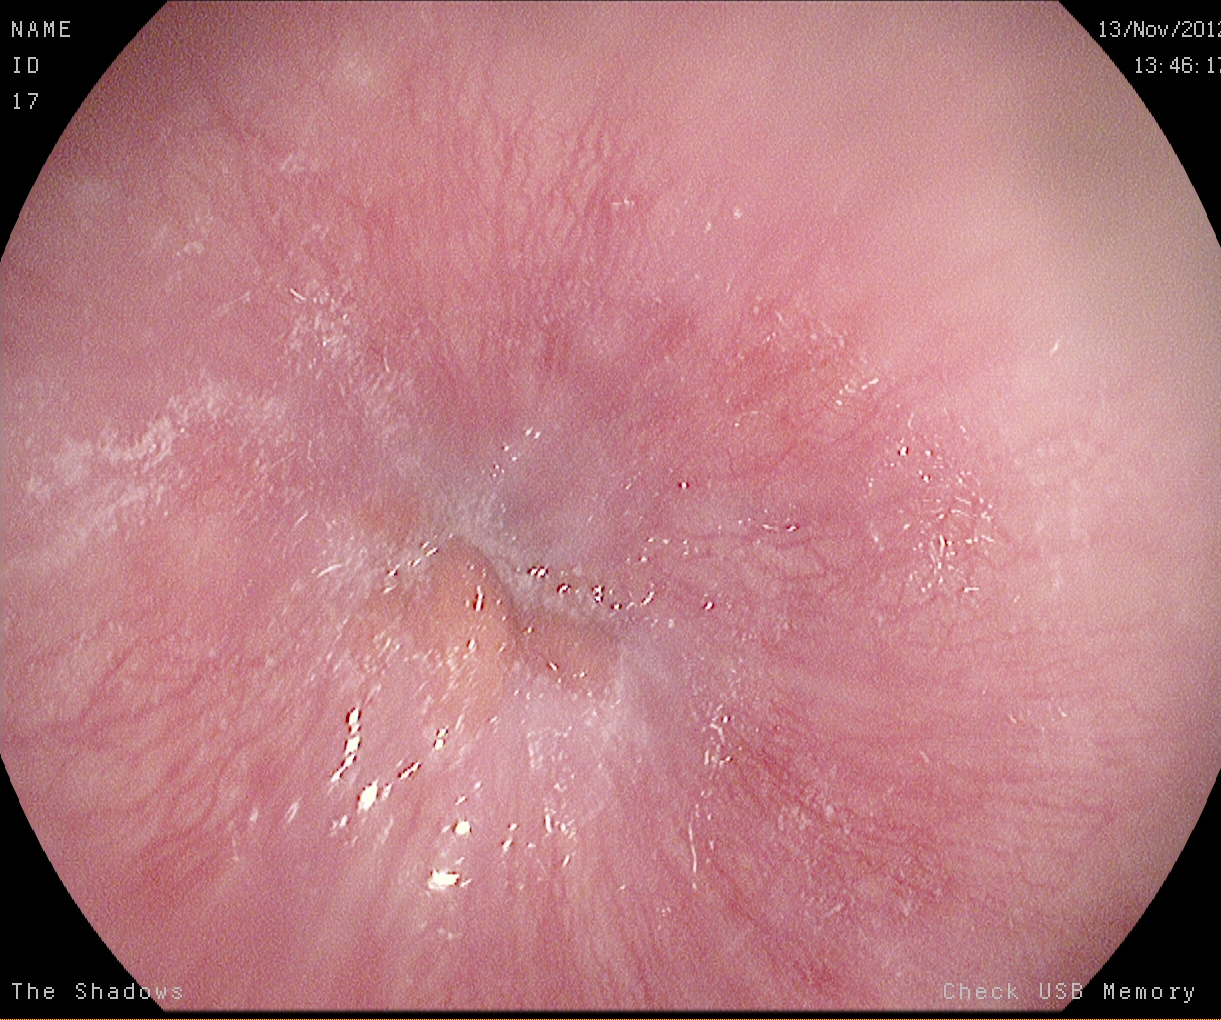Esophagogastroduodenoscopy. Tract: upper GI tract. Finding: Z-line (gastroesophageal junction).